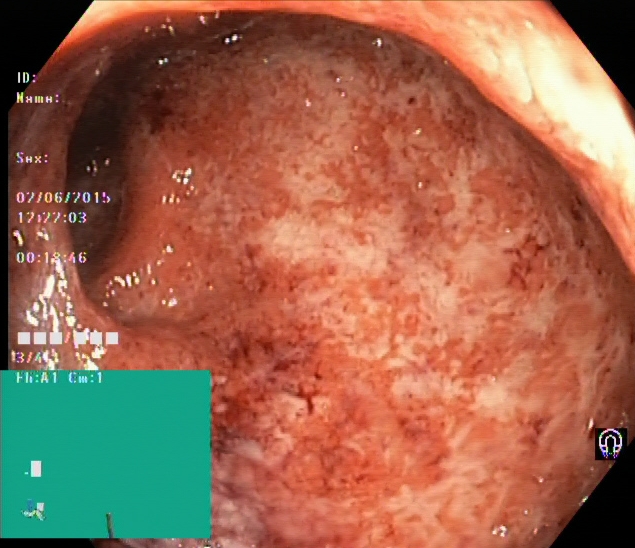PROCEDURE: Lower-GI endoscopy.
FINDINGS: Ulcerative colitis, Mayo endoscopic subscore 3.